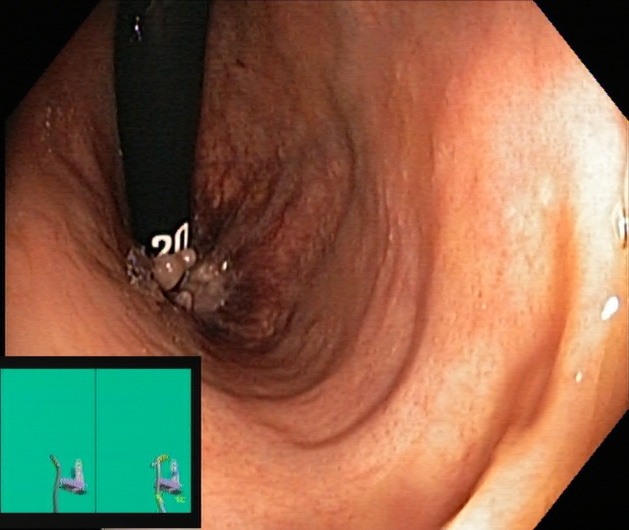Rectum in retroflexion.